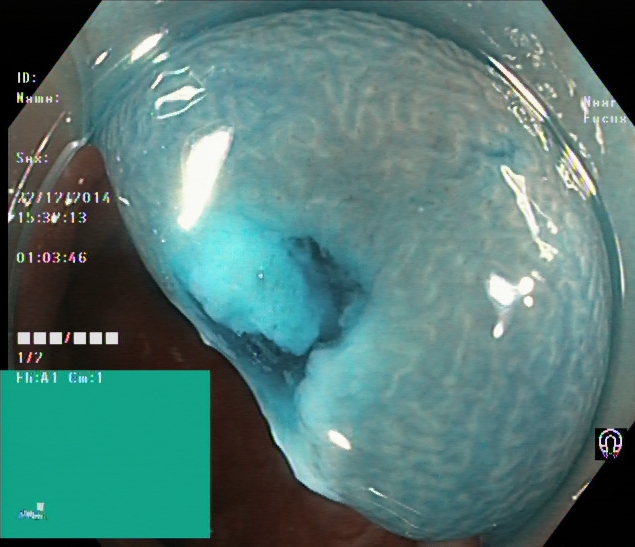Colonoscopy — dyed resection margins (post-polypectomy).